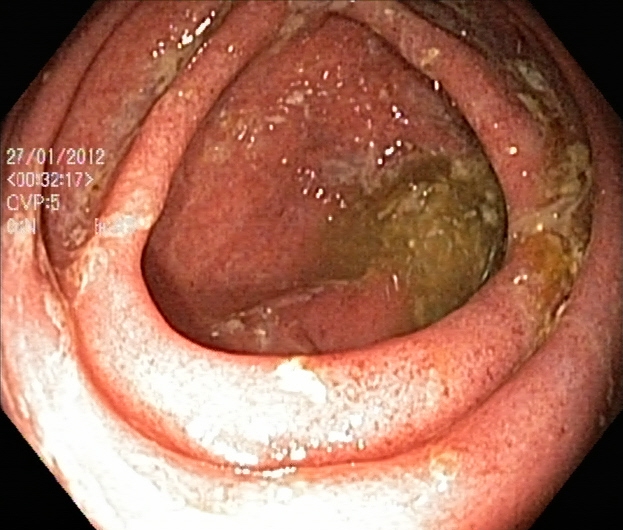{"modality": "lower gastrointestinal endoscopy", "tract": "lower GI tract", "finding": "ulcerative colitis, Mayo endoscopic subscore 2"}